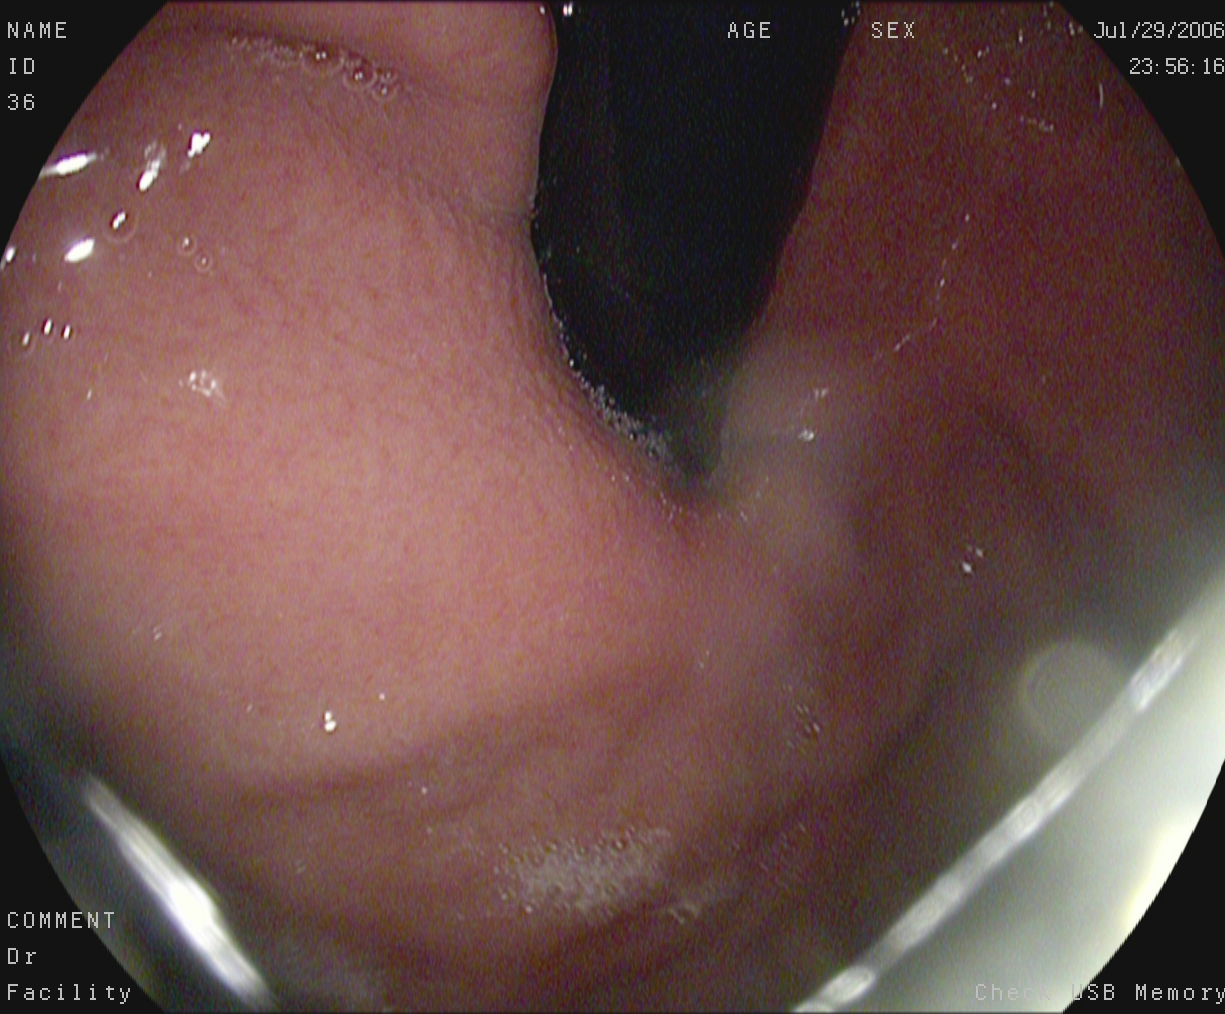modality: gastroscopy | category: anatomical landmark | finding: stomach in retroflexion